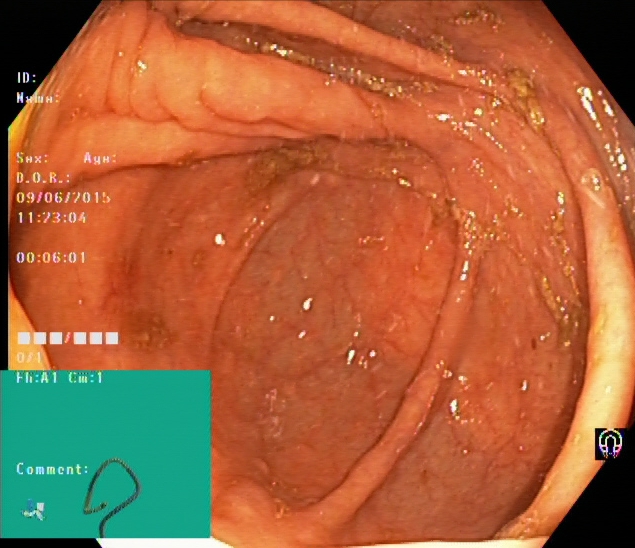This endoscopic image shows cecum.